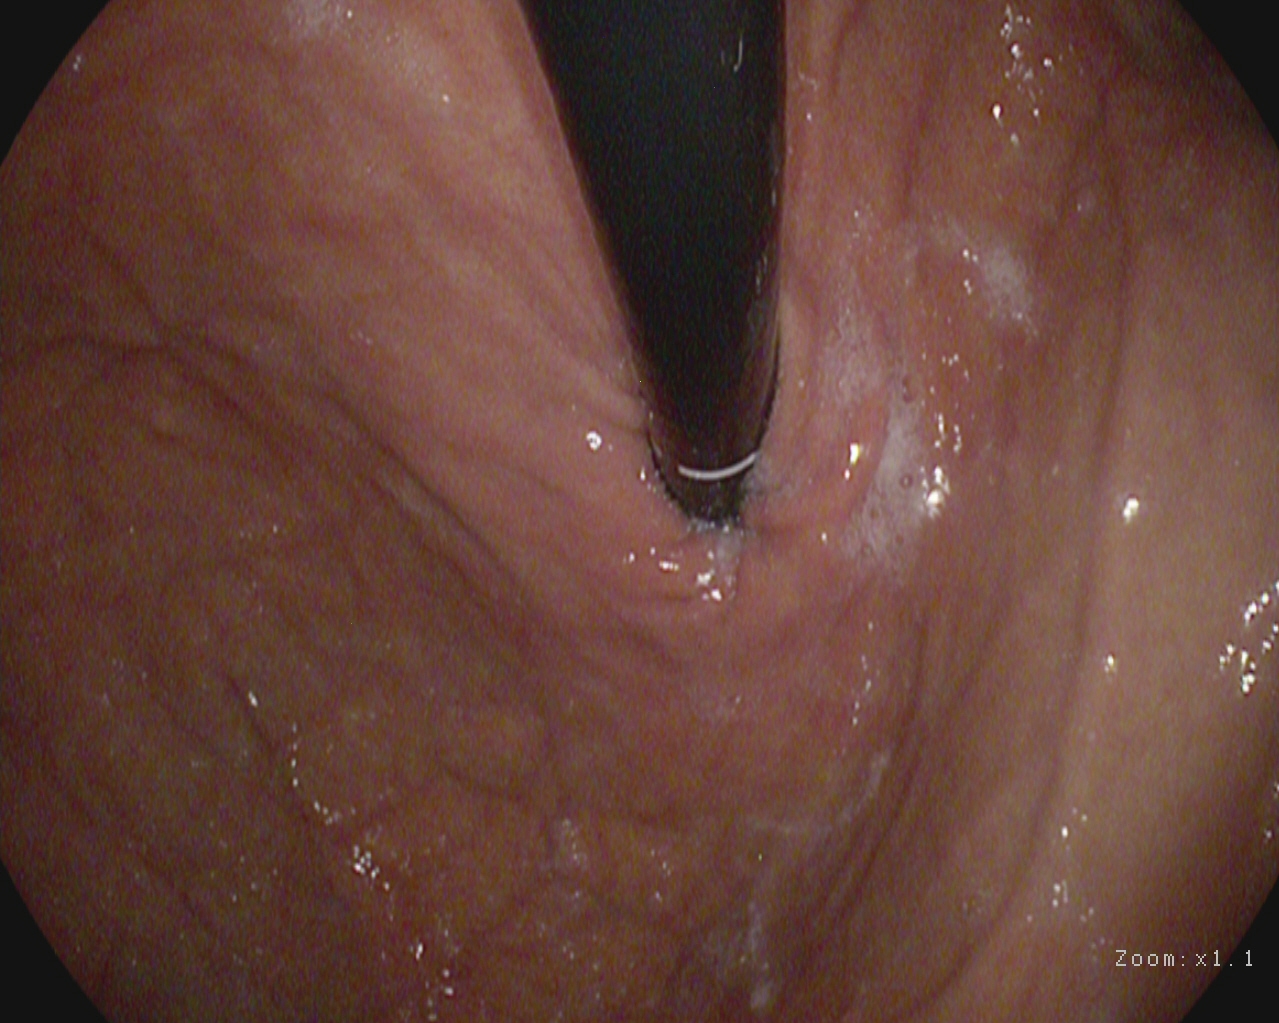EGD. Finding: stomach in retroflexion.